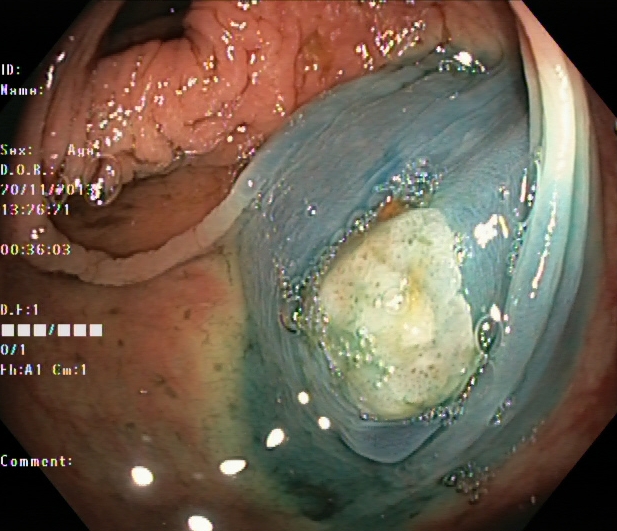Colonoscopy. Therapeutic intervention. Finding: dyed and lifted polyp (pre-resection).